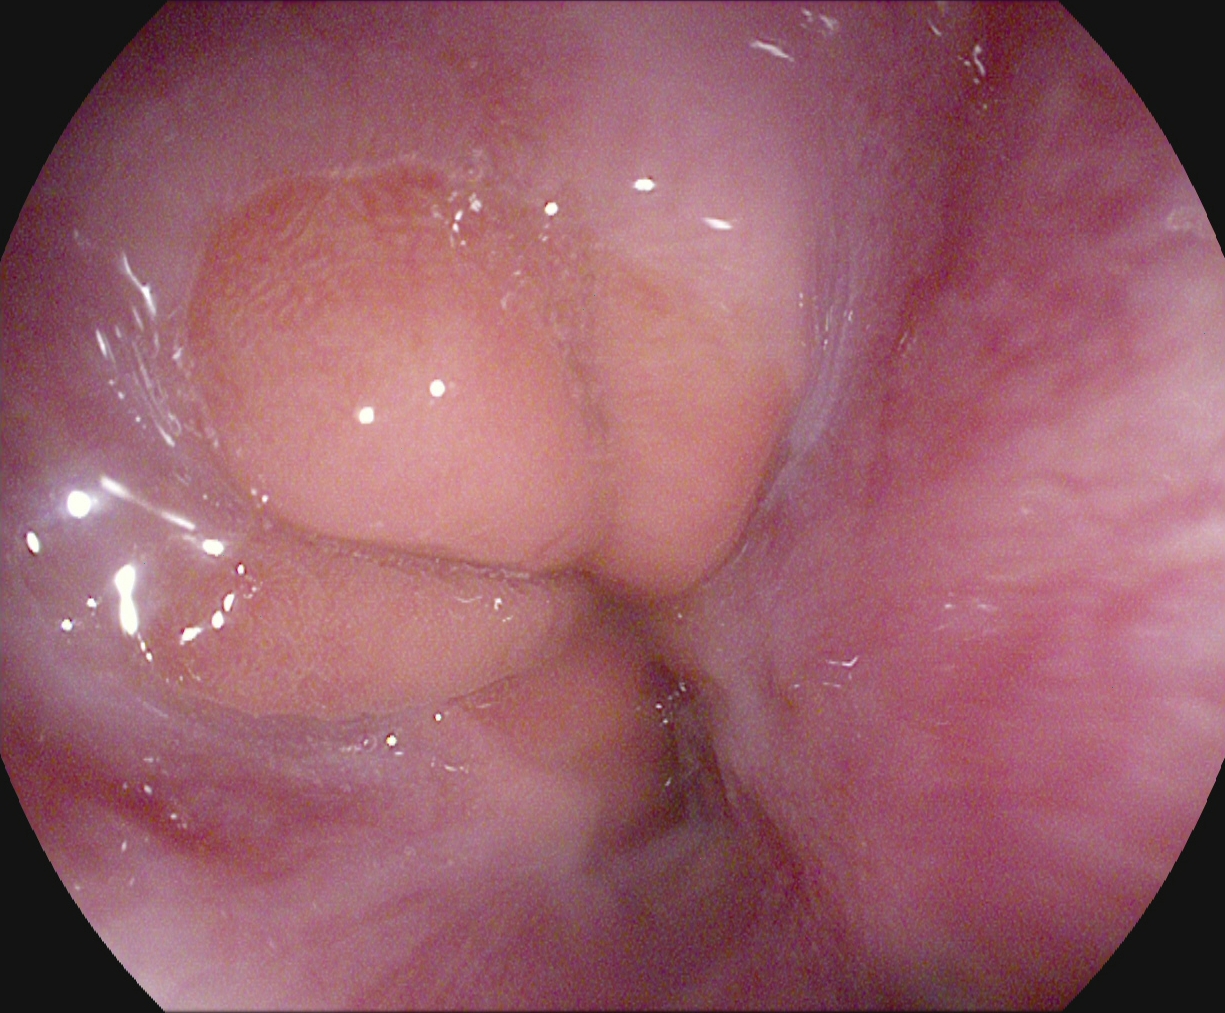Z-line (gastroesophageal junction).